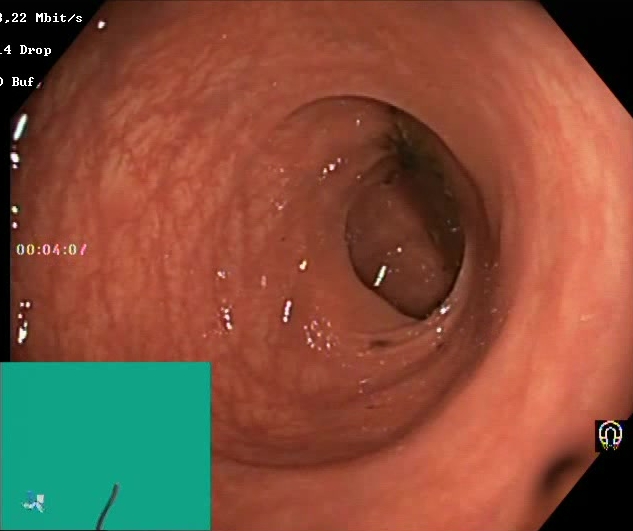Colonoscopy — Boston Bowel Preparation Scale score 2–3 (adequate preparation).